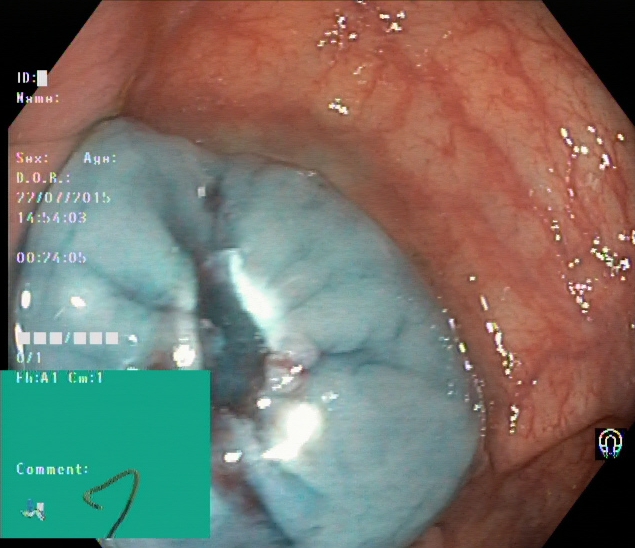Colonoscopy — dyed resection margins (post-polypectomy).